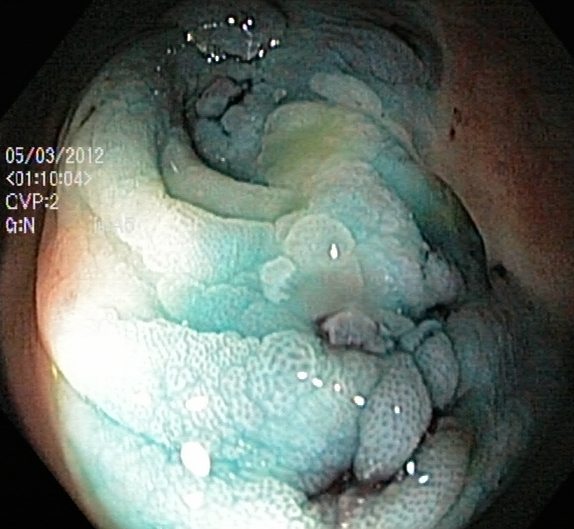{"modality": "colonoscopy", "finding": "dyed and lifted polyp (pre-resection)"}